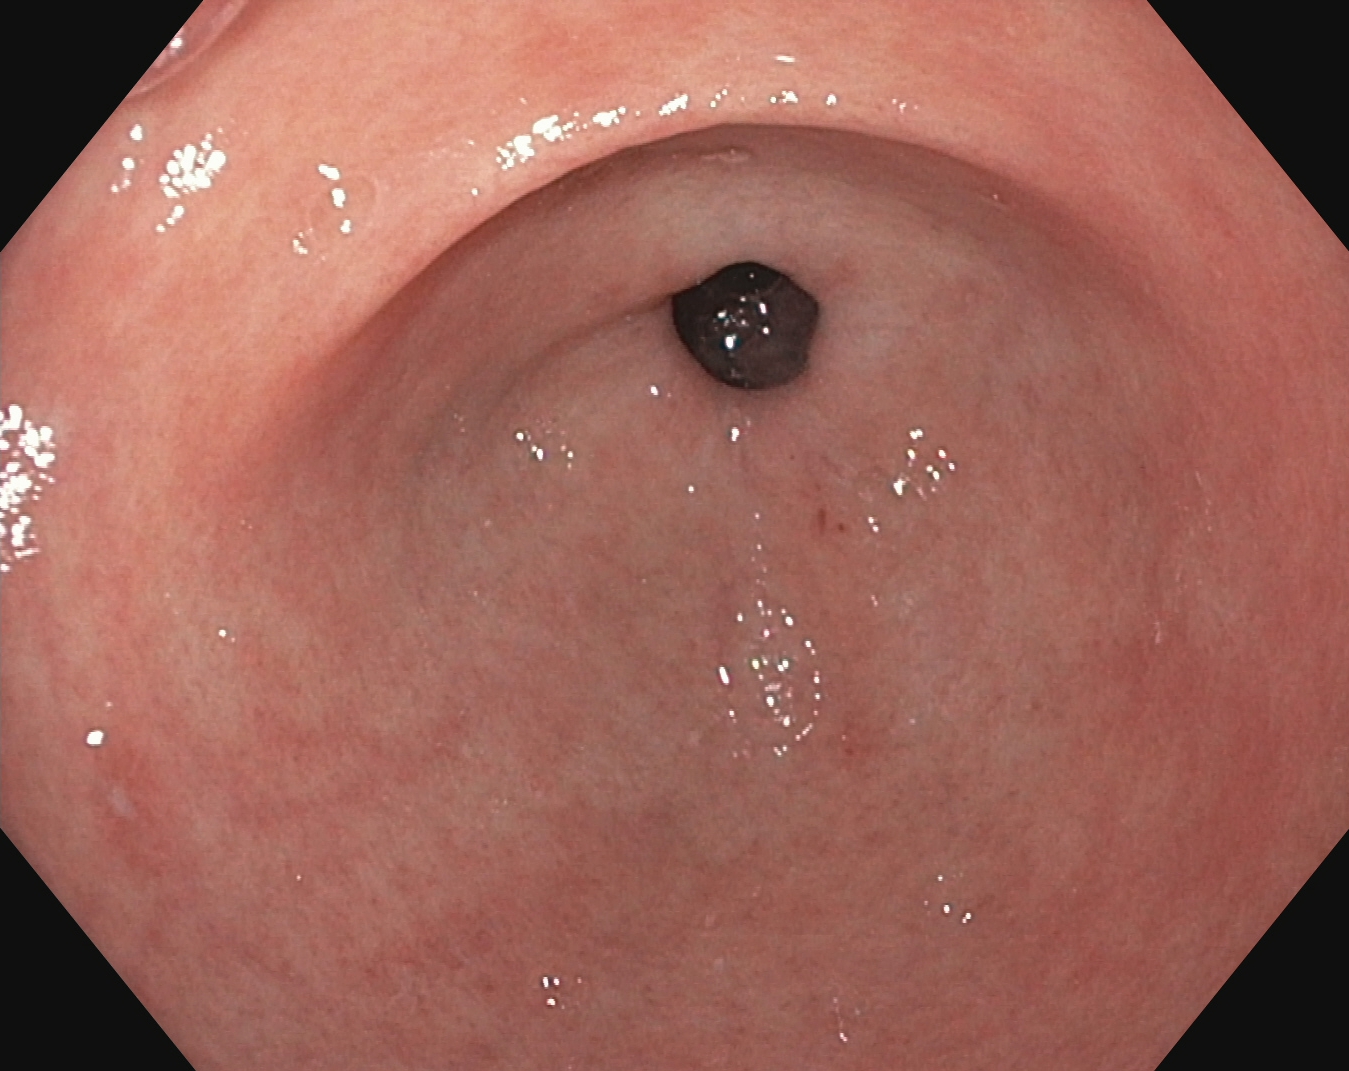Gastroscopy. Anatomical landmark. Finding: pylorus.